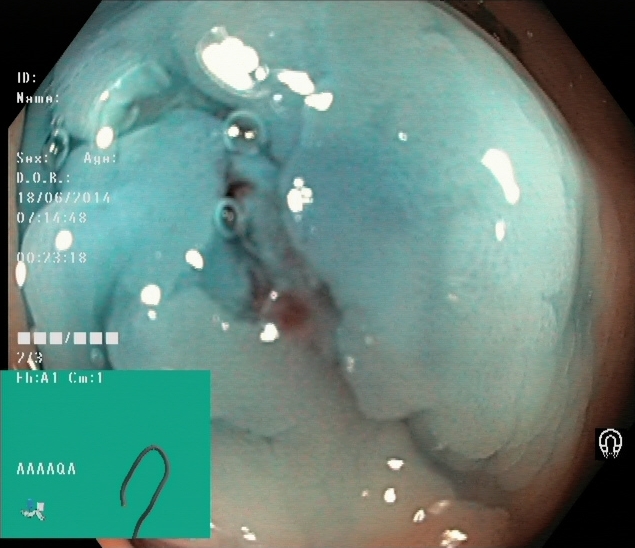dyed and lifted polyp (pre-resection).